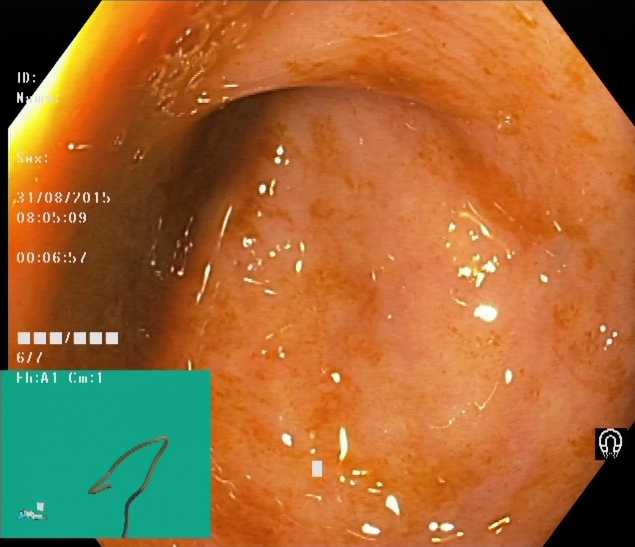Cecum.